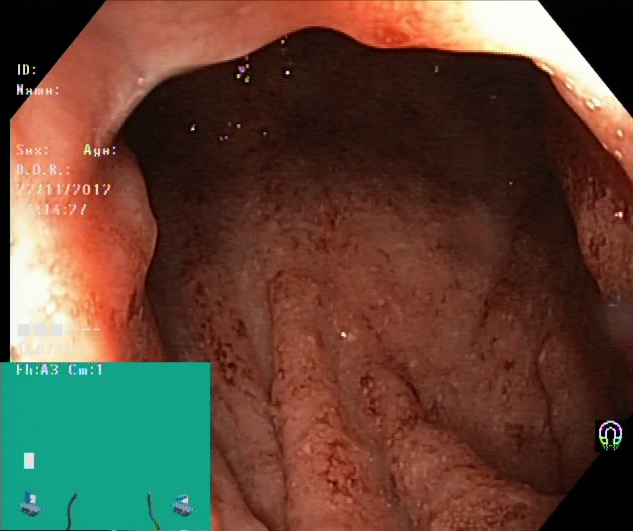Lower gastrointestinal endoscopy. Pathological finding. Finding: UC, Mayo endoscopic subscore 2.